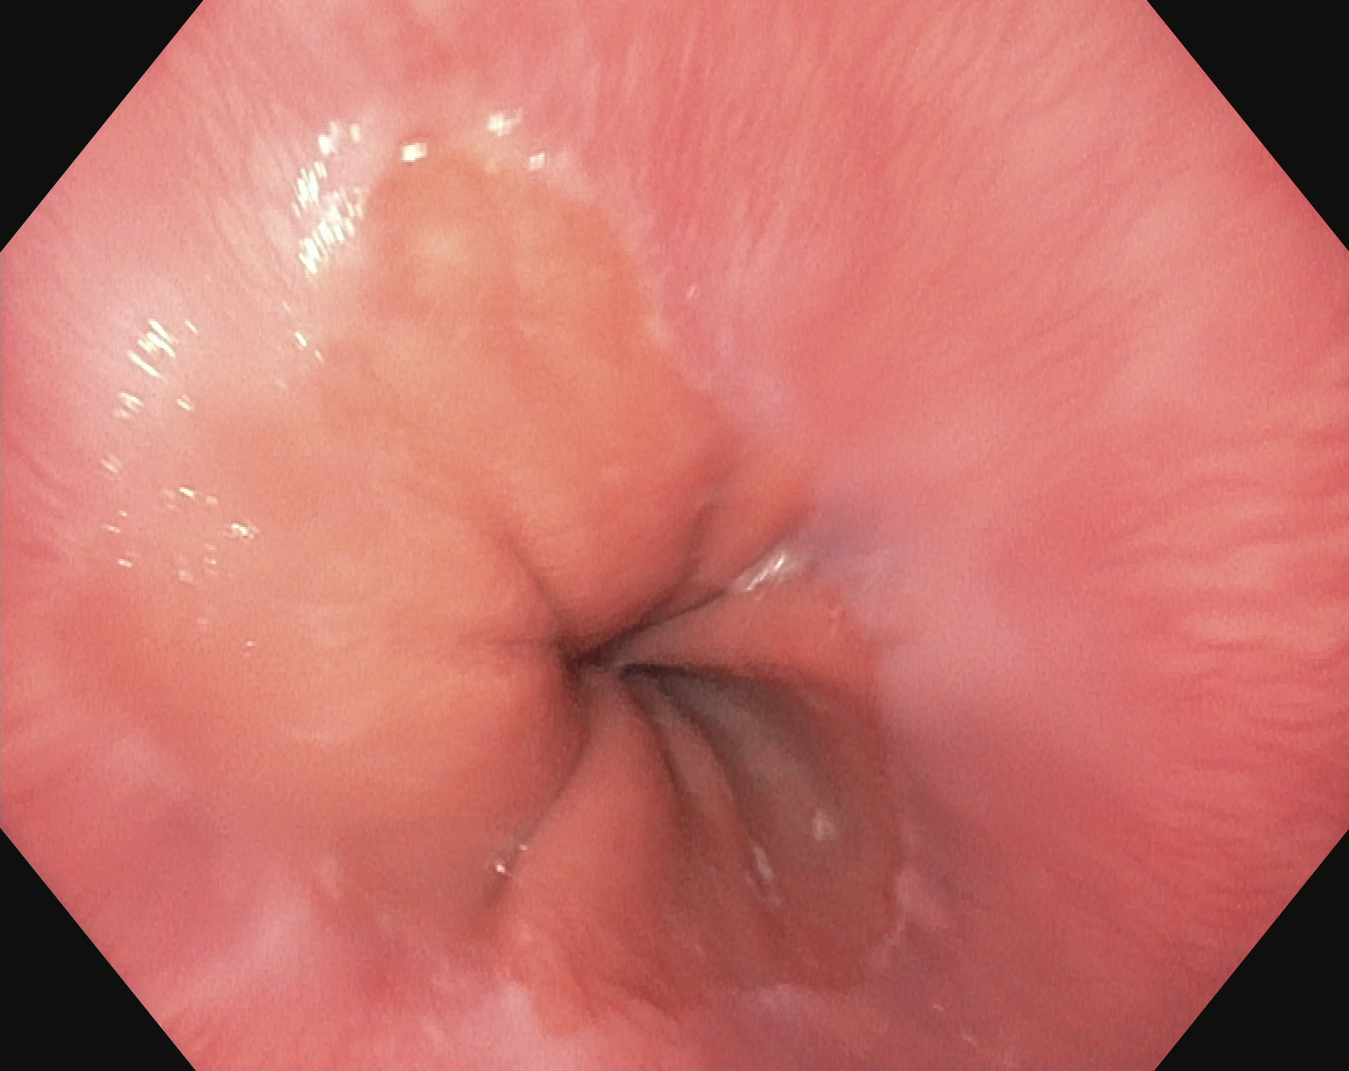Esophagogastroduodenoscopy — Z-line (gastroesophageal junction).